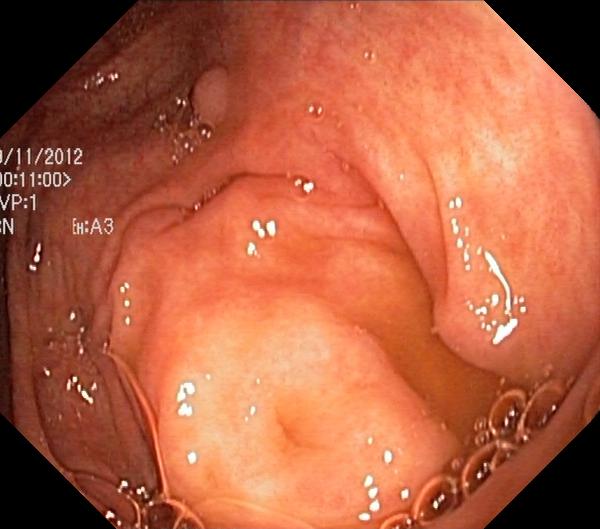Endoscopic image of the lower GI tract showing colorectal polyp(s).